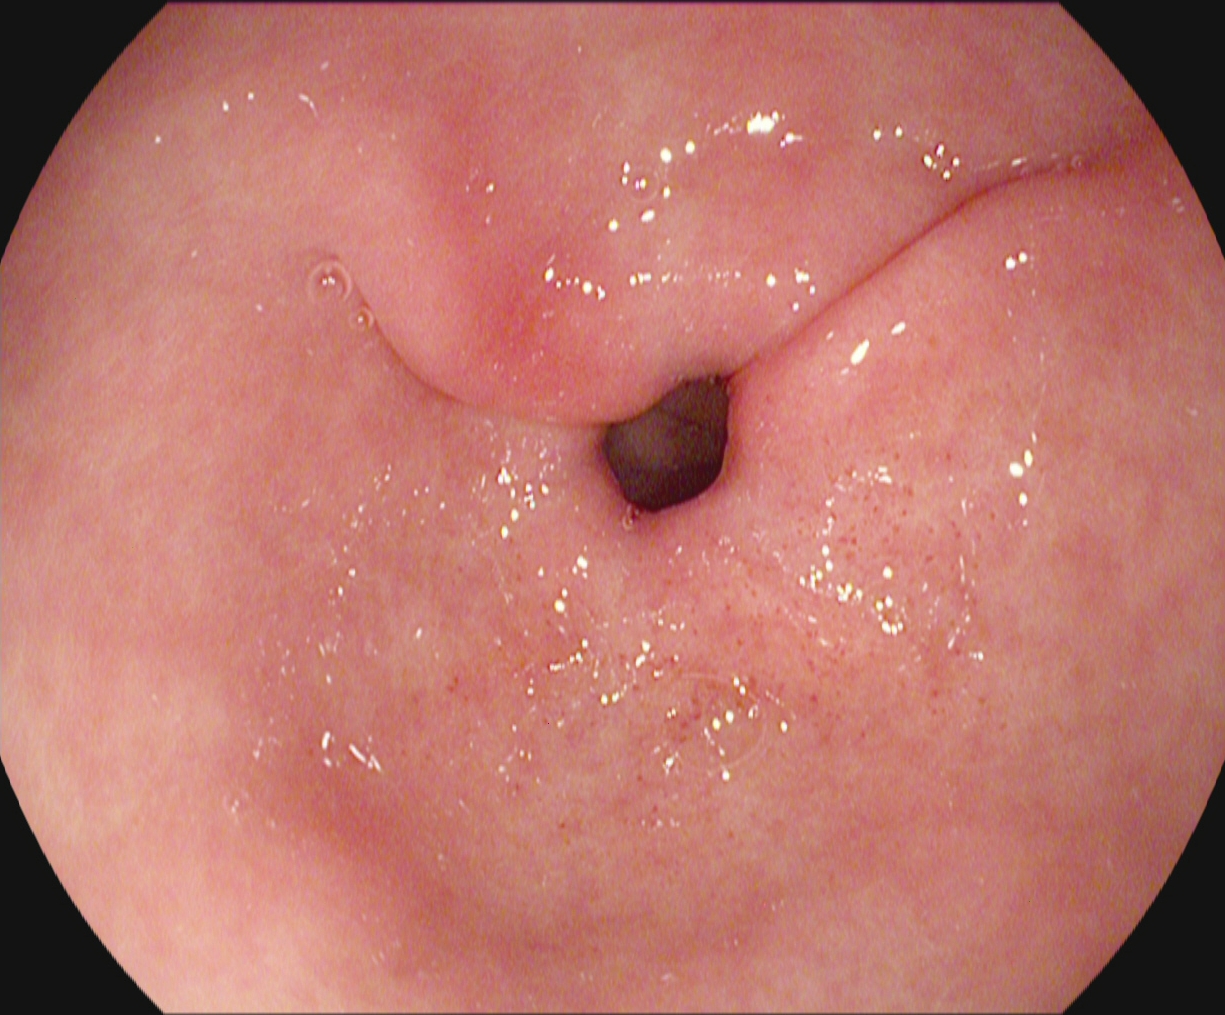Pylorus.